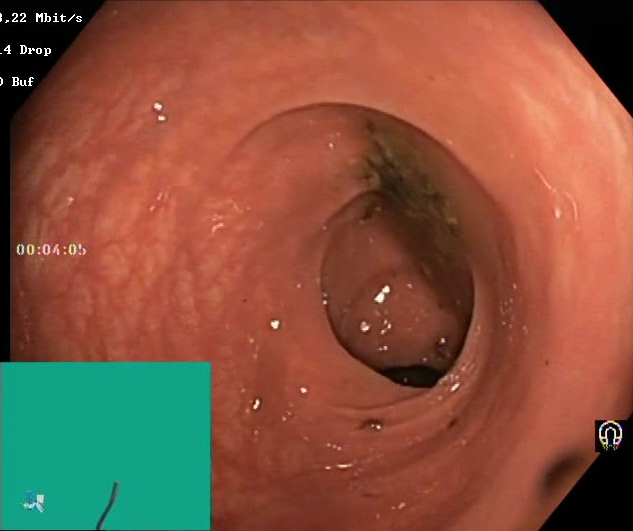PROCEDURE: Colonoscopy.
CATEGORY: Mucosal-view quality.
FINDINGS: BBPS score 0–1 (inadequate preparation).